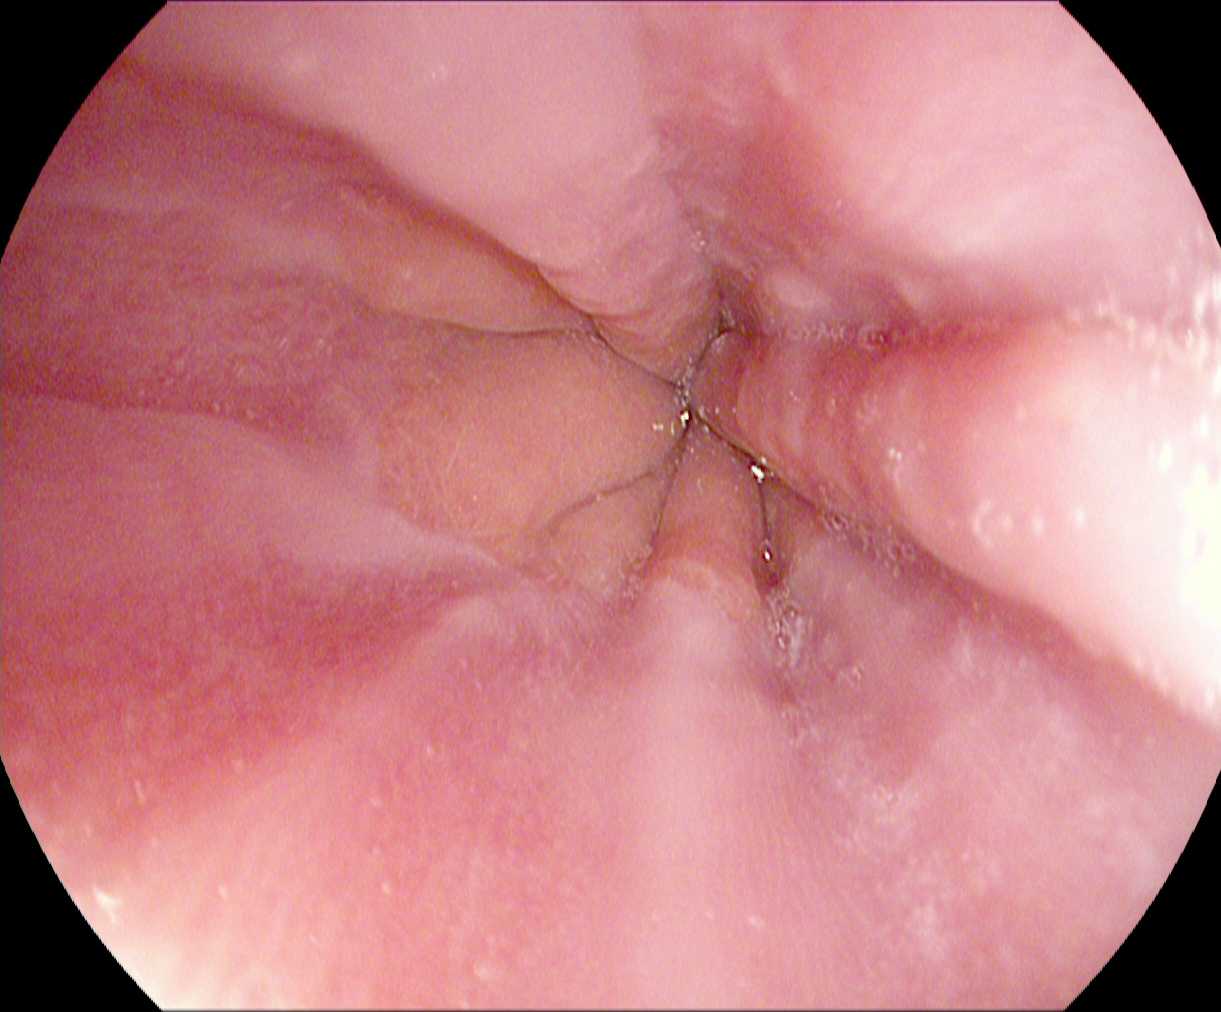This endoscopy frame of the upper GI tract shows Z-line (gastroesophageal junction).